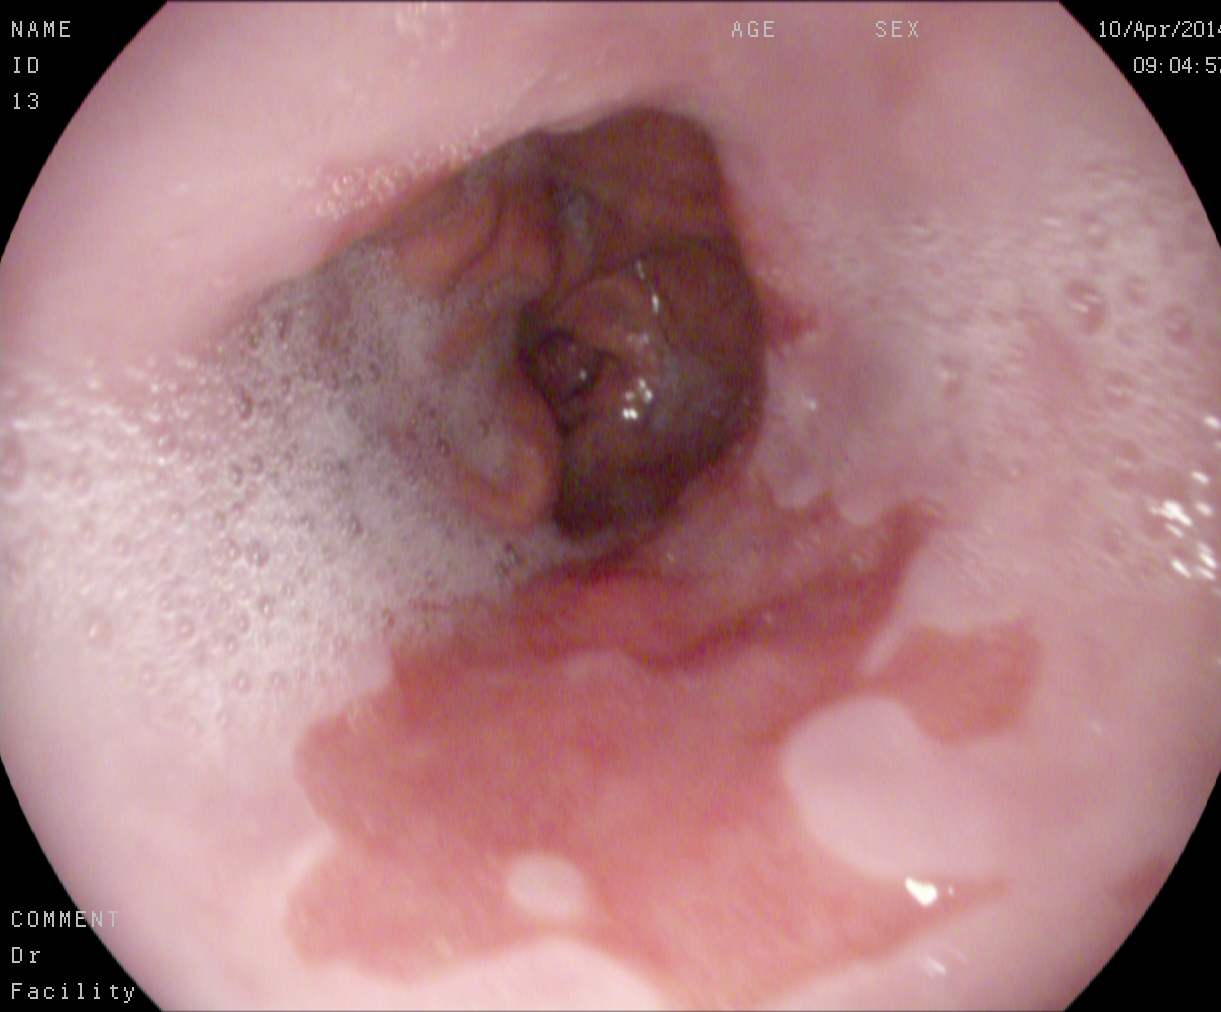modality: EGD | tract: upper GI tract | finding: Barrett's esophagus